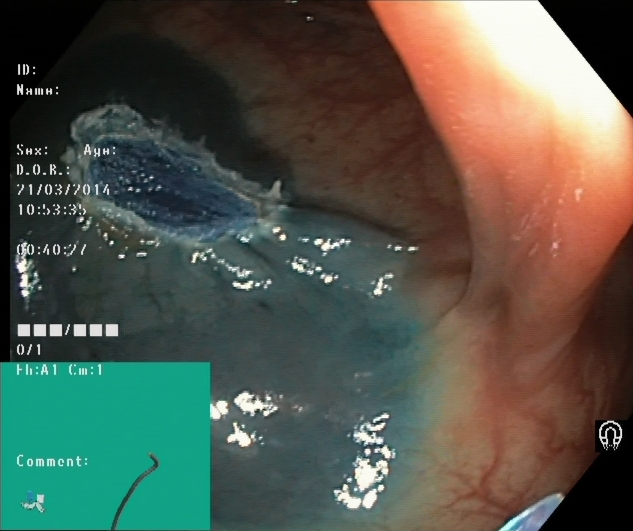GI endoscopy image of the lower GI tract showing dyed resection margins (post-polypectomy).